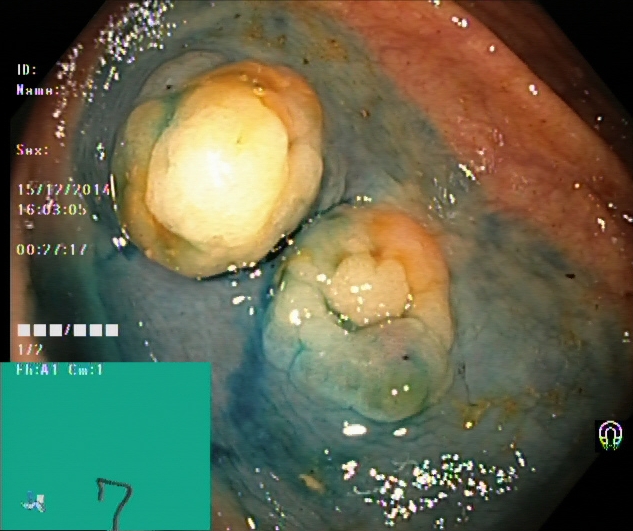This endoscopic image of the lower GI tract shows dyed and lifted polyp (pre-resection).